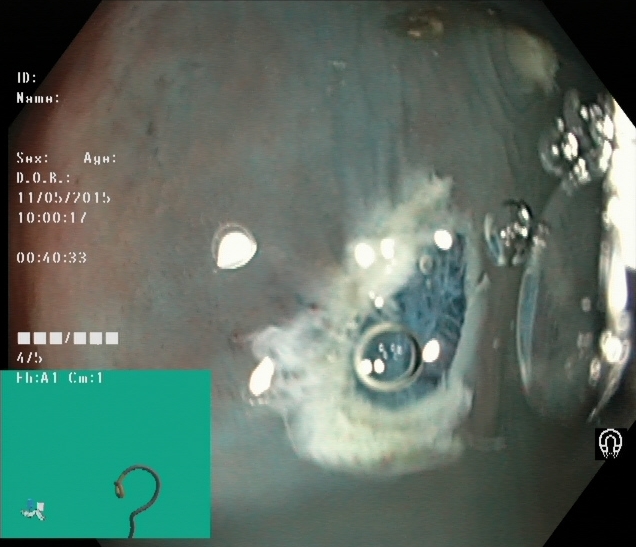Dyed resection margins (post-polypectomy).